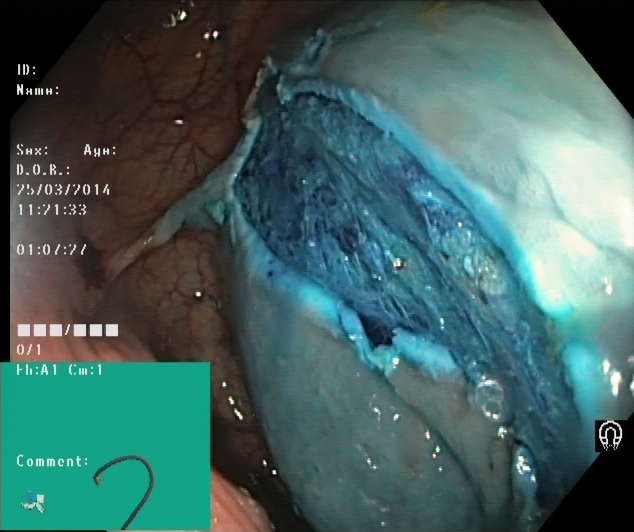Dyed resection margins (post-polypectomy).